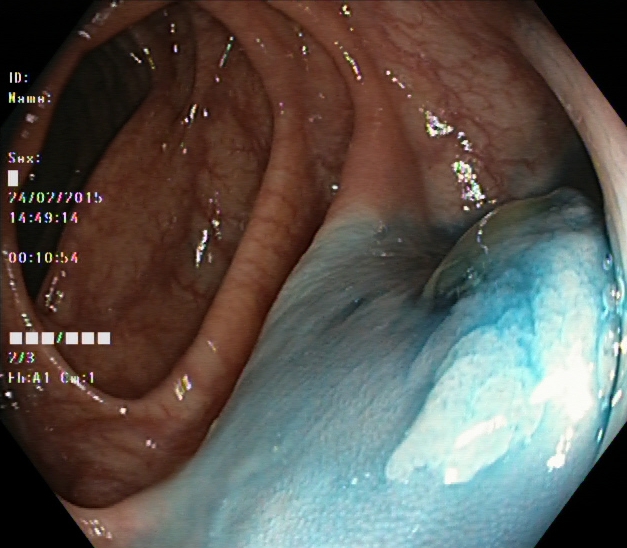{"modality": "colonoscopy", "category": "therapeutic intervention", "finding": "dyed and lifted polyp (pre-resection)"}